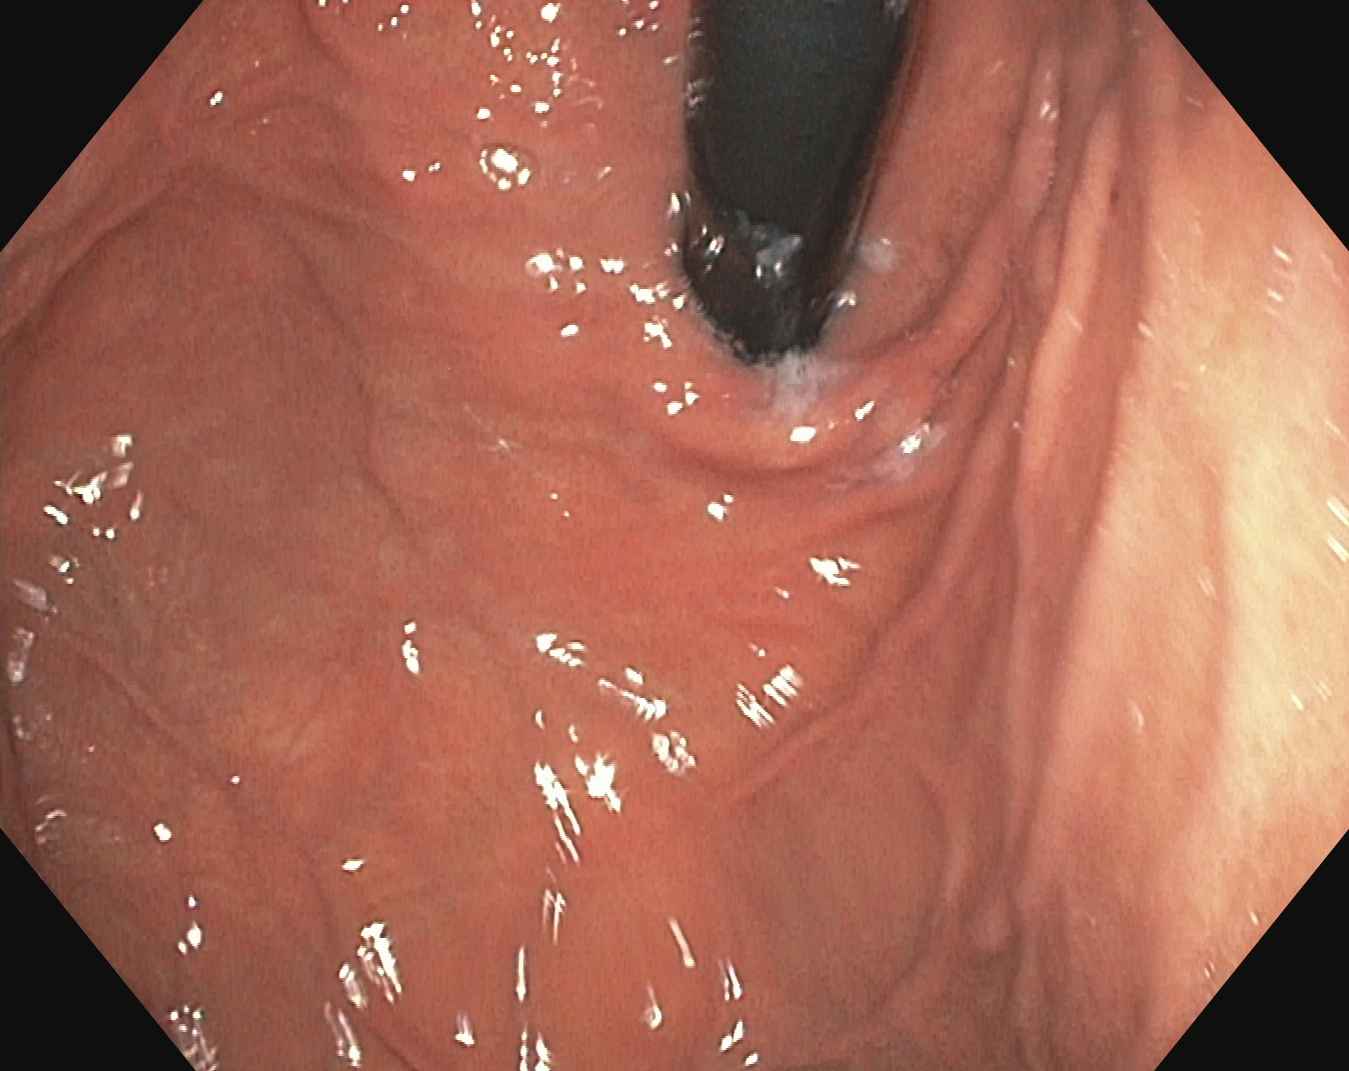{"modality": "gastroscopy", "tract": "upper GI tract", "category": "anatomical landmark", "finding": "stomach in retroflexion"}